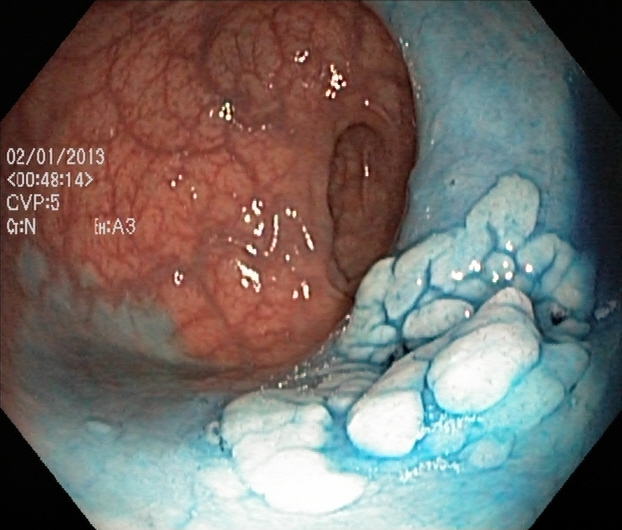dyed and lifted polyp (pre-resection).